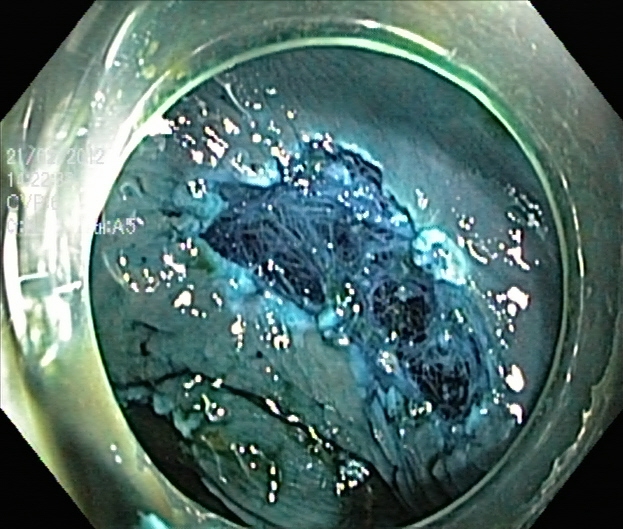Endoscopic image showing dyed resection margins (post-polypectomy).